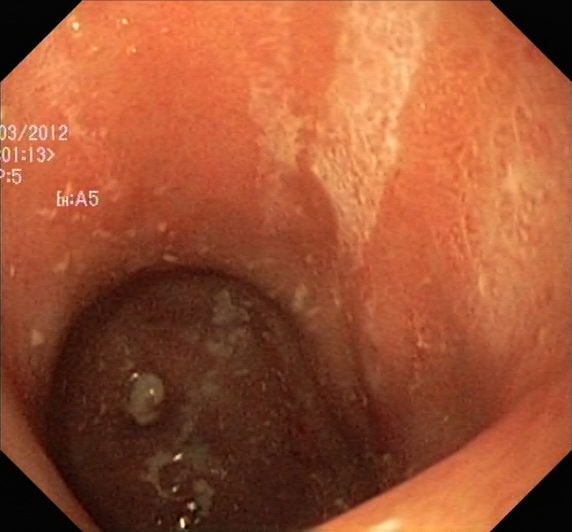modality: lower gastrointestinal endoscopy; tract: lower GI tract; finding: ulcerative colitis, Mayo endoscopic subscore 2